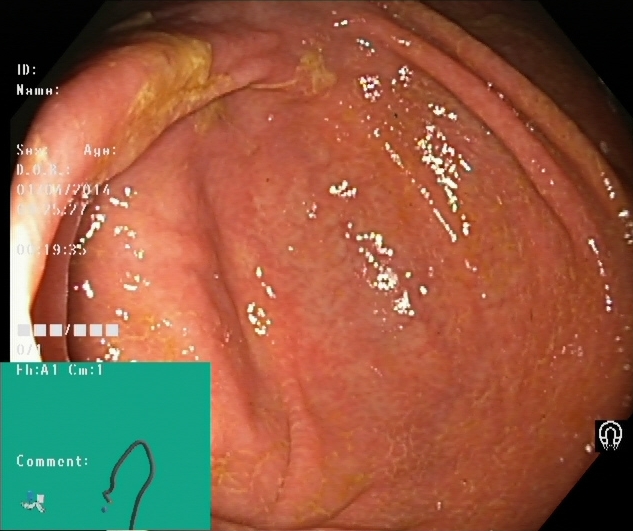modality: lower-GI endoscopy | tract: lower GI tract | category: anatomical landmark | finding: cecum